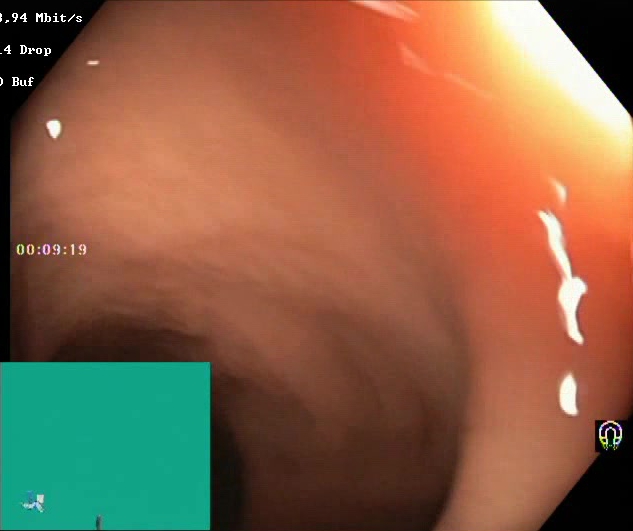Gastrointestinal endoscopy image showing BBPS score 2–3 (adequate preparation).